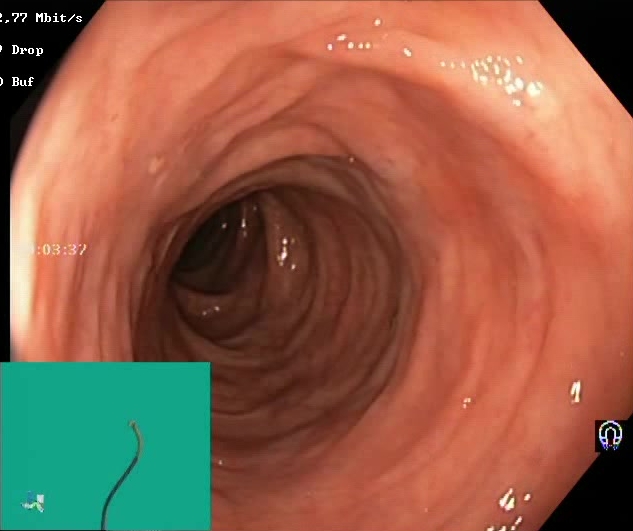Colonoscopy. Finding: BBPS score 2–3 (adequate preparation).